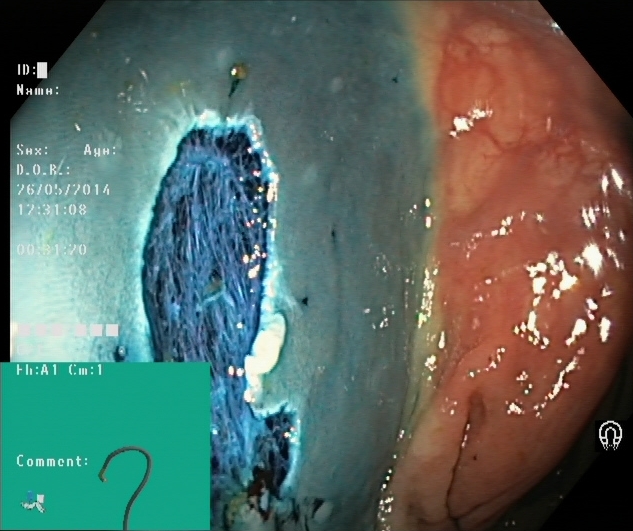{"modality": "lower-GI endoscopy", "tract": "lower GI tract", "finding": "dyed resection margins (post-polypectomy)"}